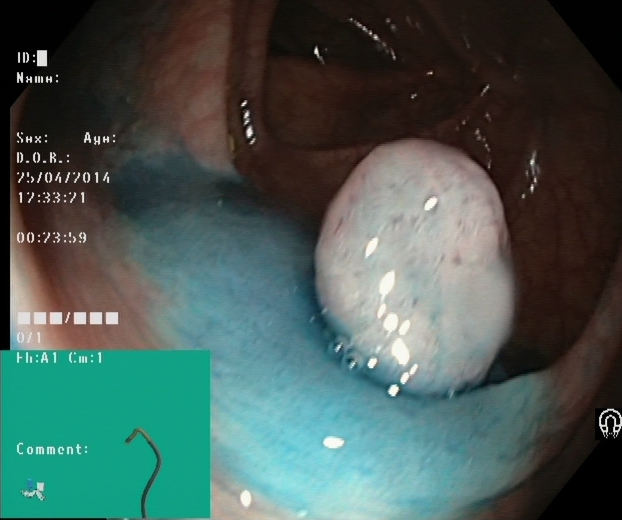This endoscopic image shows dyed and lifted polyp (pre-resection).